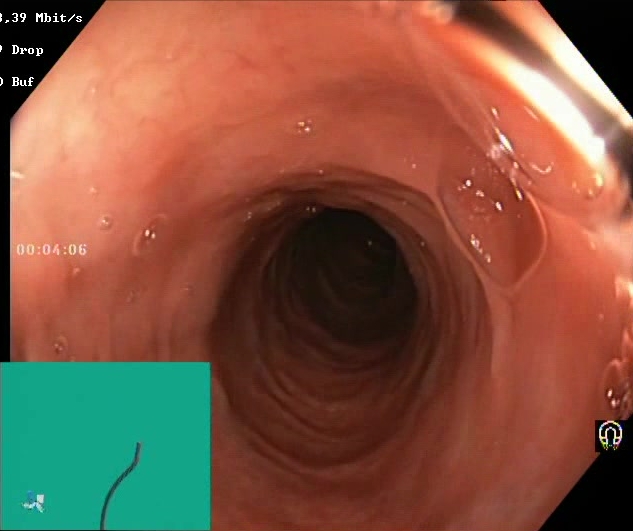Lower-GI endoscopy image showing Boston Bowel Preparation Scale score 2–3 (adequate preparation).